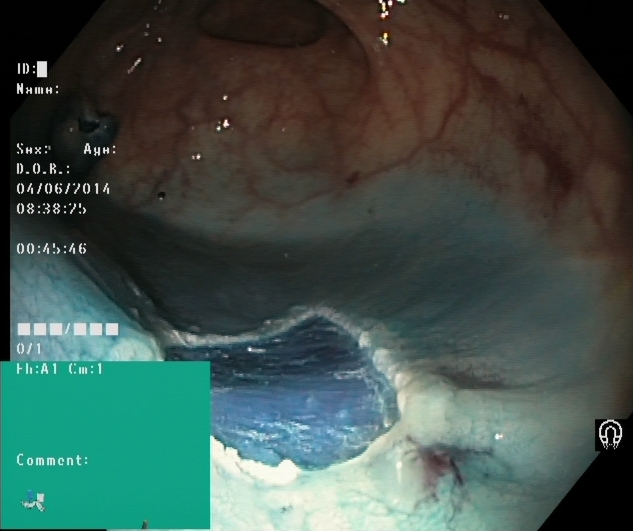Dyed resection margins (post-polypectomy).